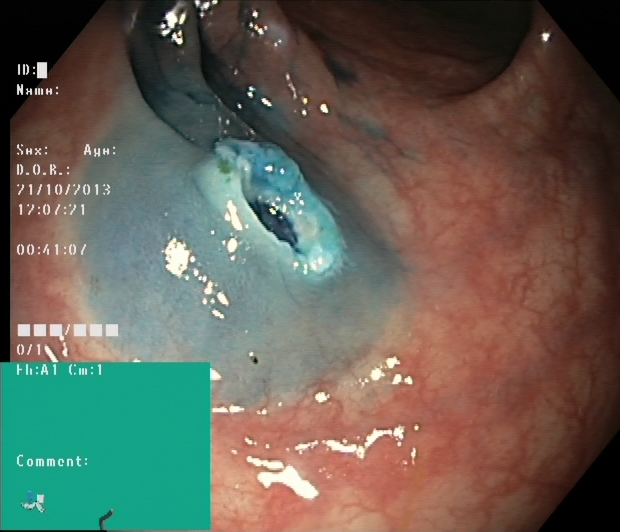modality: lower-GI endoscopy | finding: dyed resection margins (post-polypectomy)